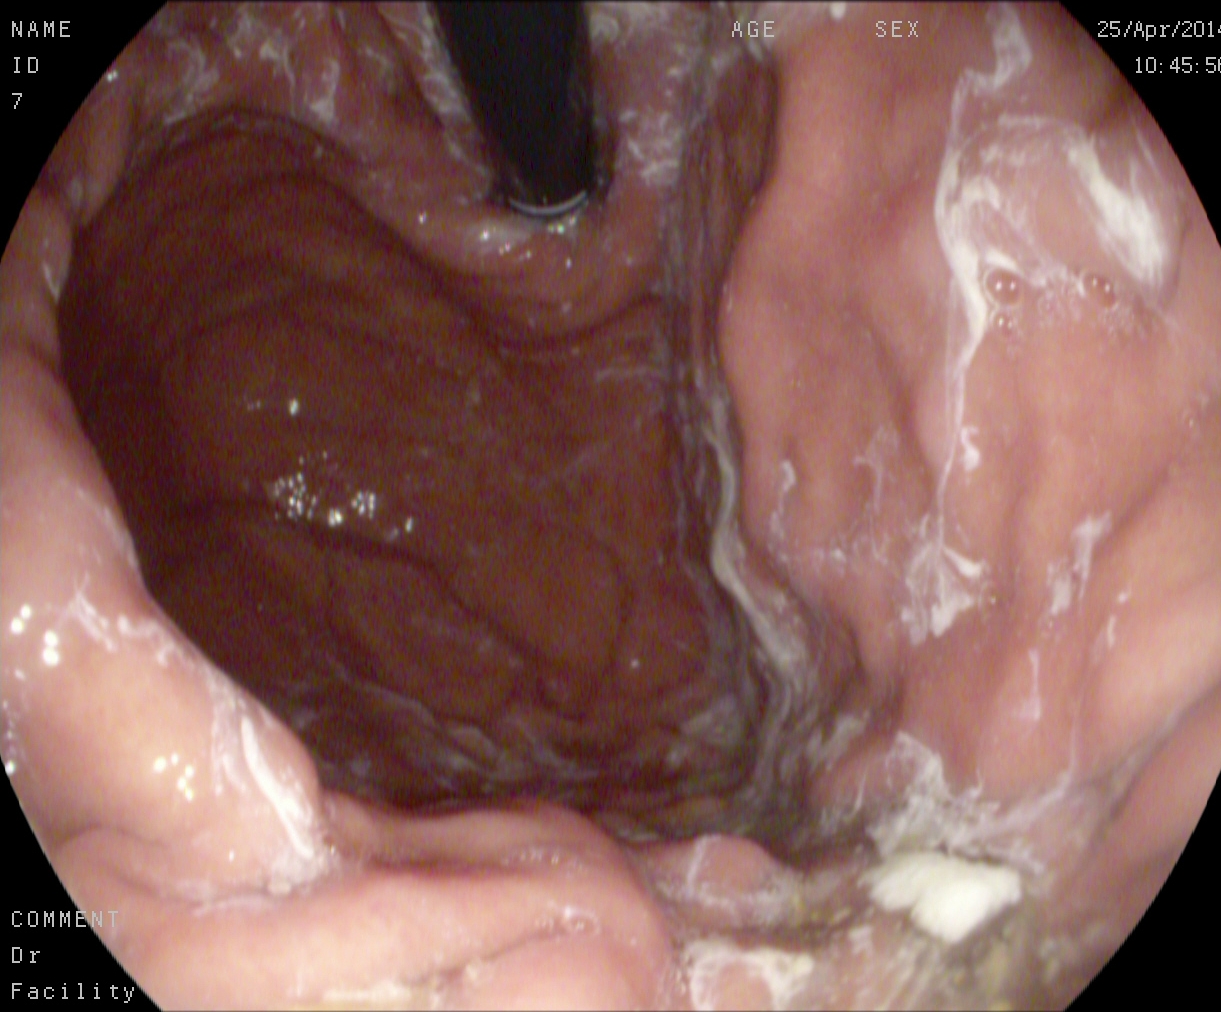{"modality": "upper-GI endoscopy", "tract": "upper GI tract", "category": "anatomical landmark", "finding": "stomach in retroflexion"}